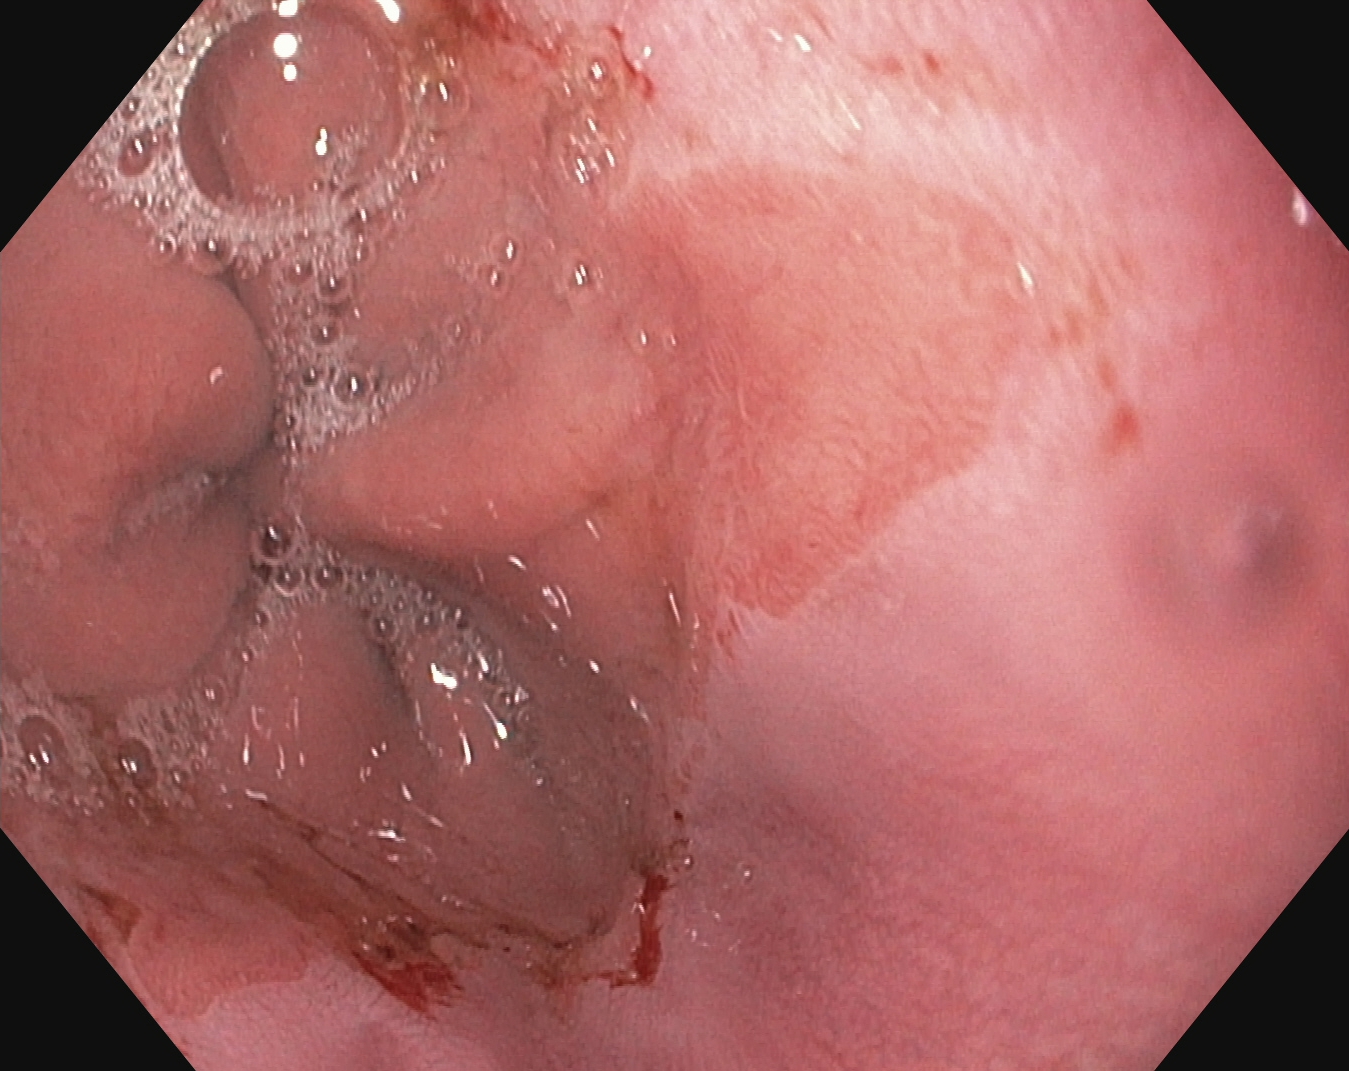PROCEDURE: Upper-GI endoscopy.
FINDINGS: Reflux esophagitis, Los Angeles grade B–D.